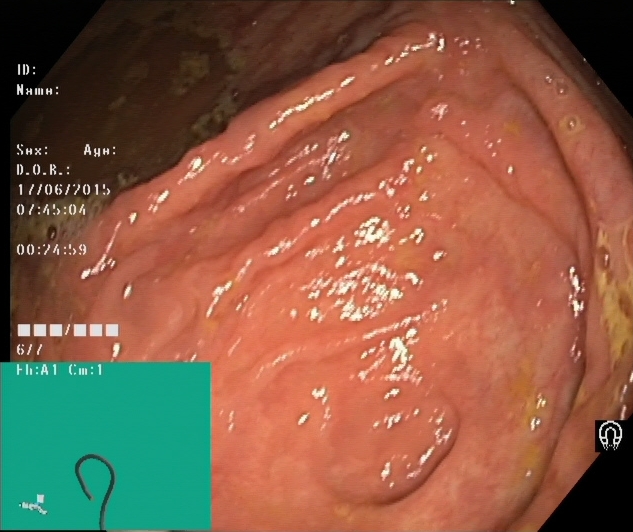{"modality": "lower-GI endoscopy", "finding": "cecum"}